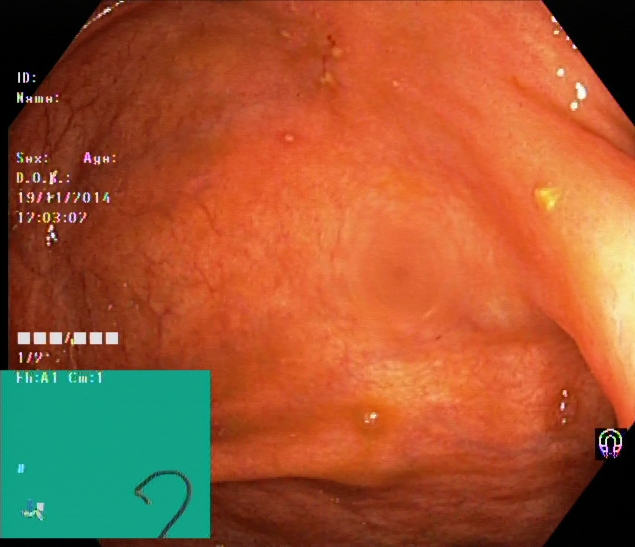This endoscopic image of the lower GI tract shows UC, Mayo endoscopic subscore 1.